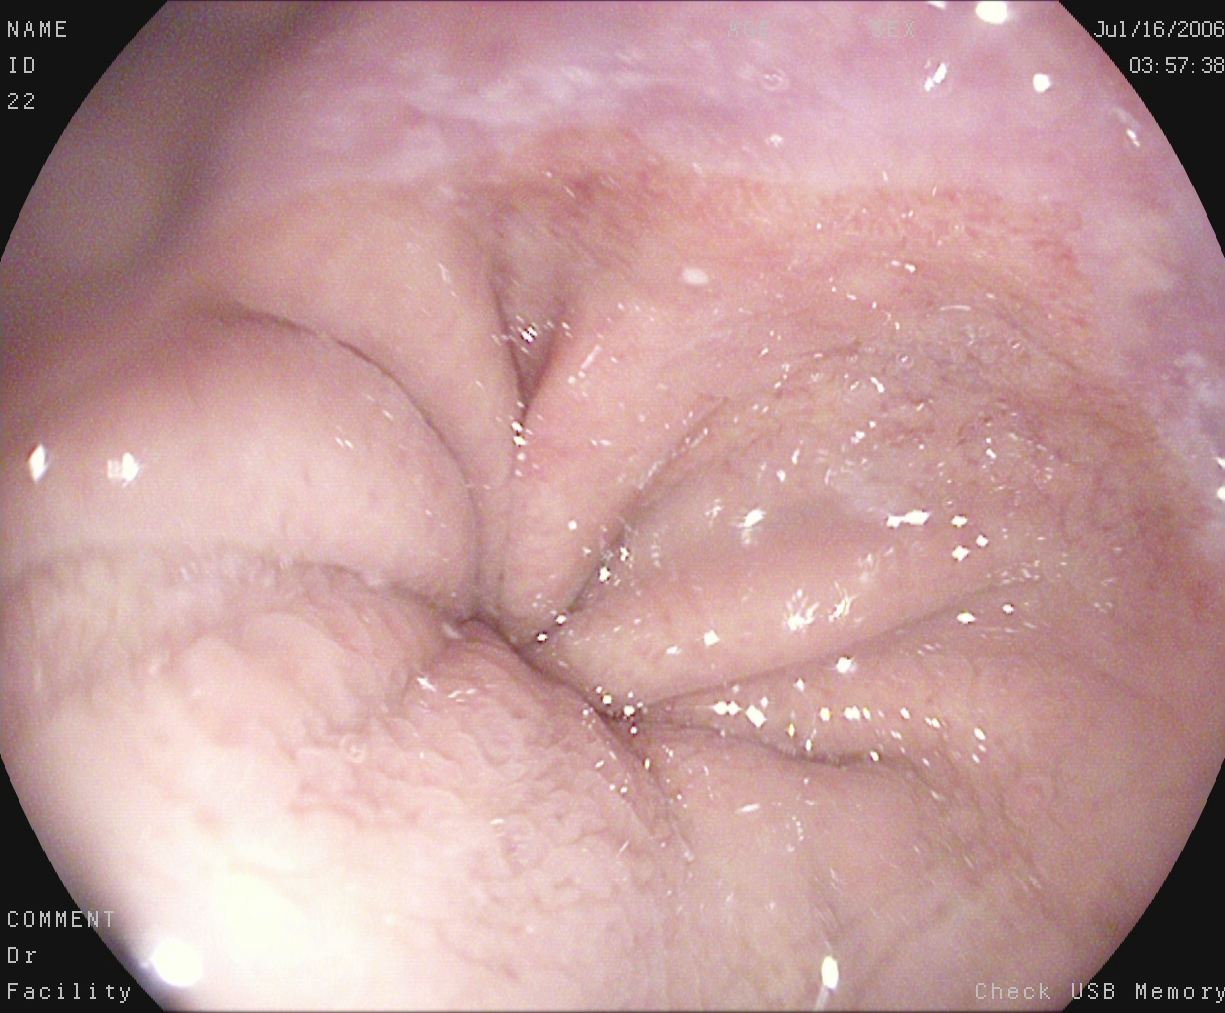GI endoscopy image showing Z-line (gastroesophageal junction).